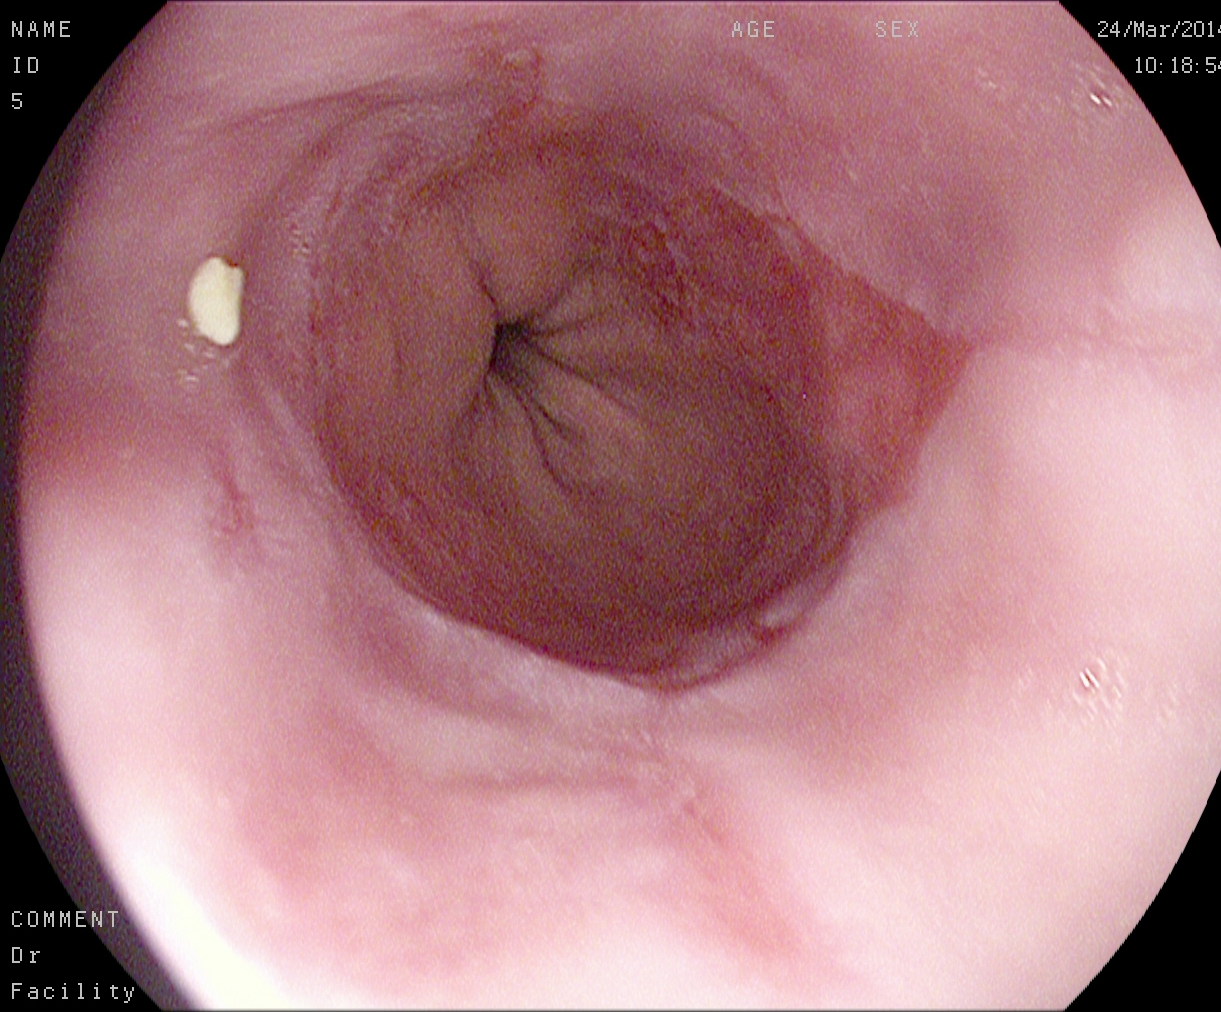Reflux esophagitis, LA grade A.